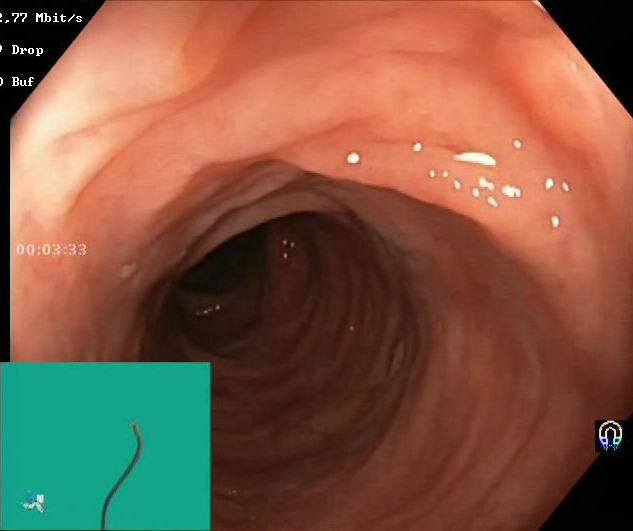PROCEDURE: Lower-GI endoscopy.
CATEGORY: Mucosal-view quality.
FINDINGS: BBPS score 2–3 (adequate preparation).